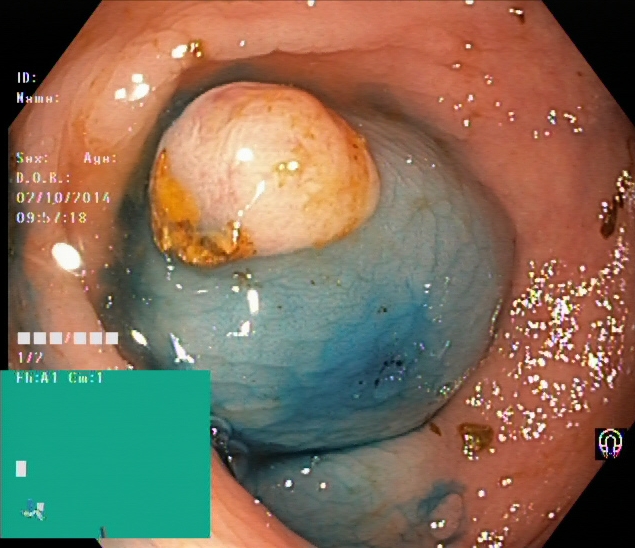PROCEDURE: Colonoscopy.
FINDINGS: Dyed and lifted polyp (pre-resection).